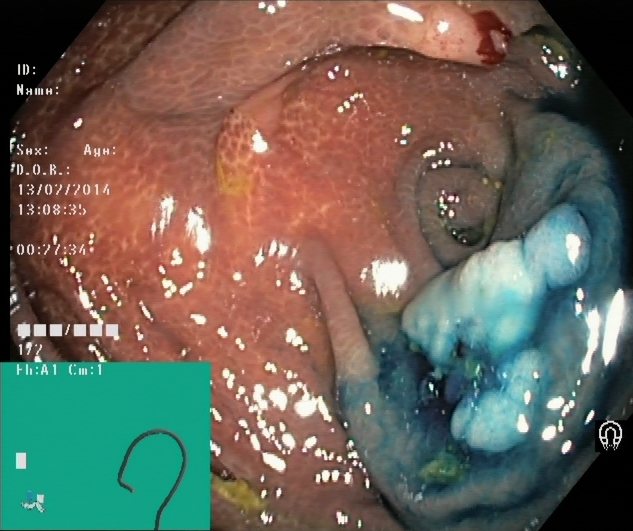Dyed and lifted polyp (pre-resection).